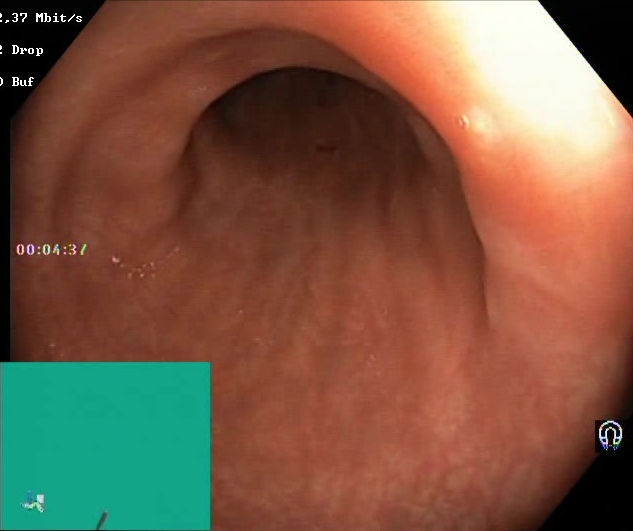PROCEDURE: Colonoscopy.
CATEGORY: Mucosal-view quality.
FINDINGS: Boston Bowel Preparation Scale score 2–3 (adequate preparation).